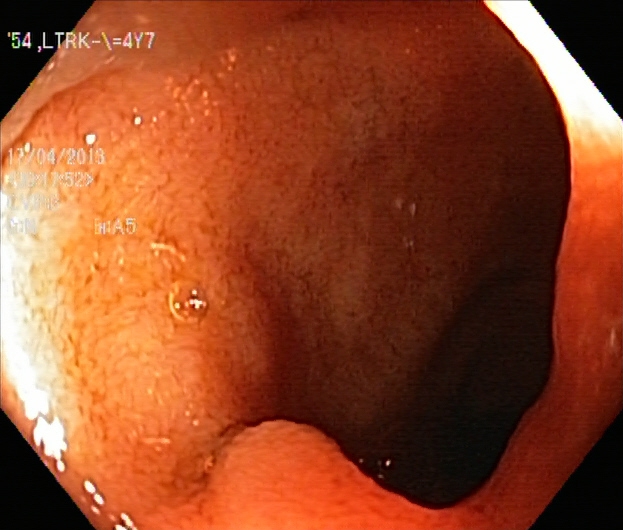modality: lower gastrointestinal endoscopy
finding: ulcerative colitis, Mayo endoscopic subscore 1